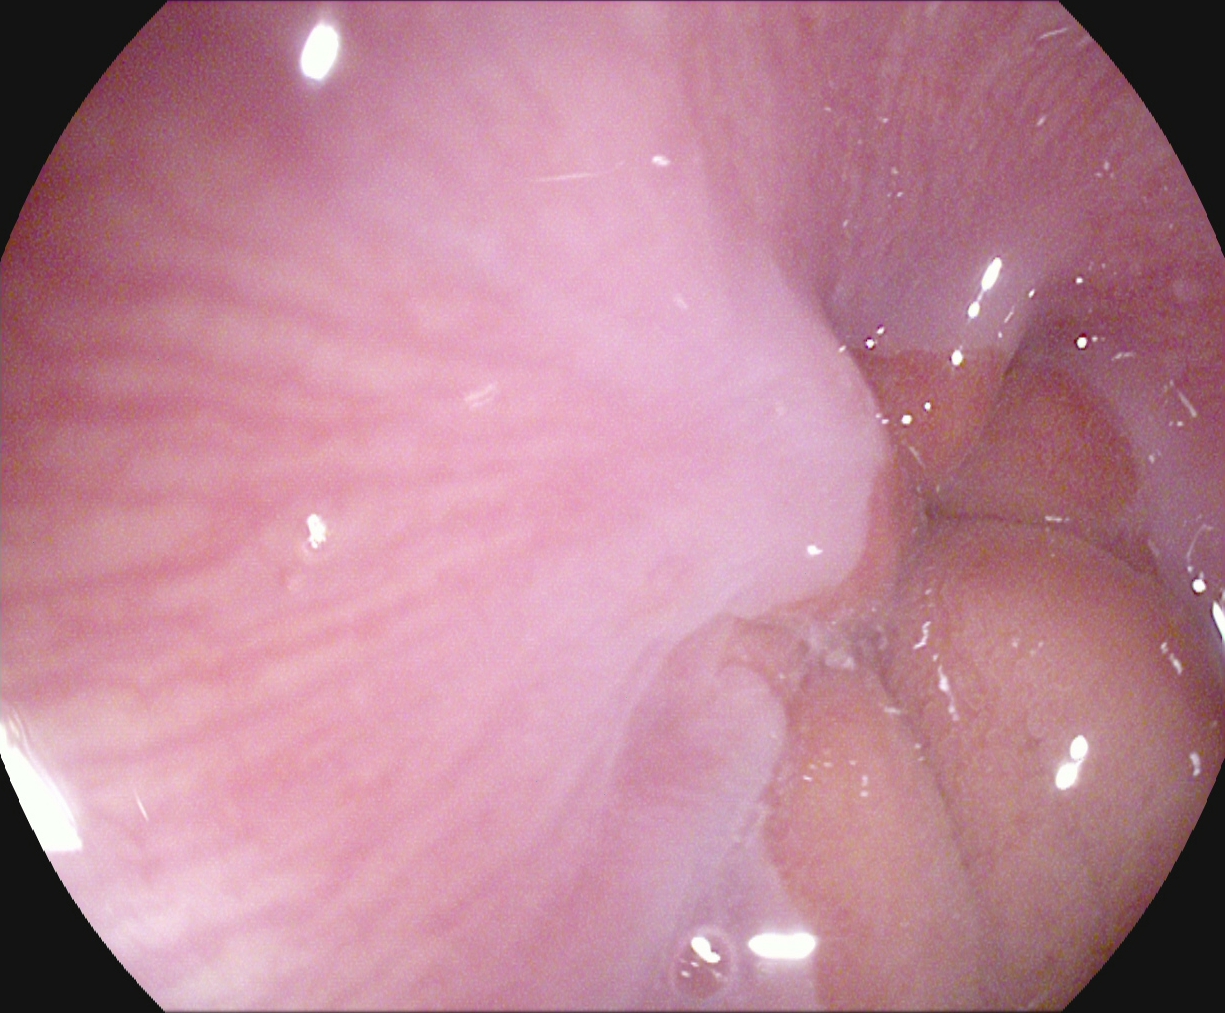Z-line (gastroesophageal junction).